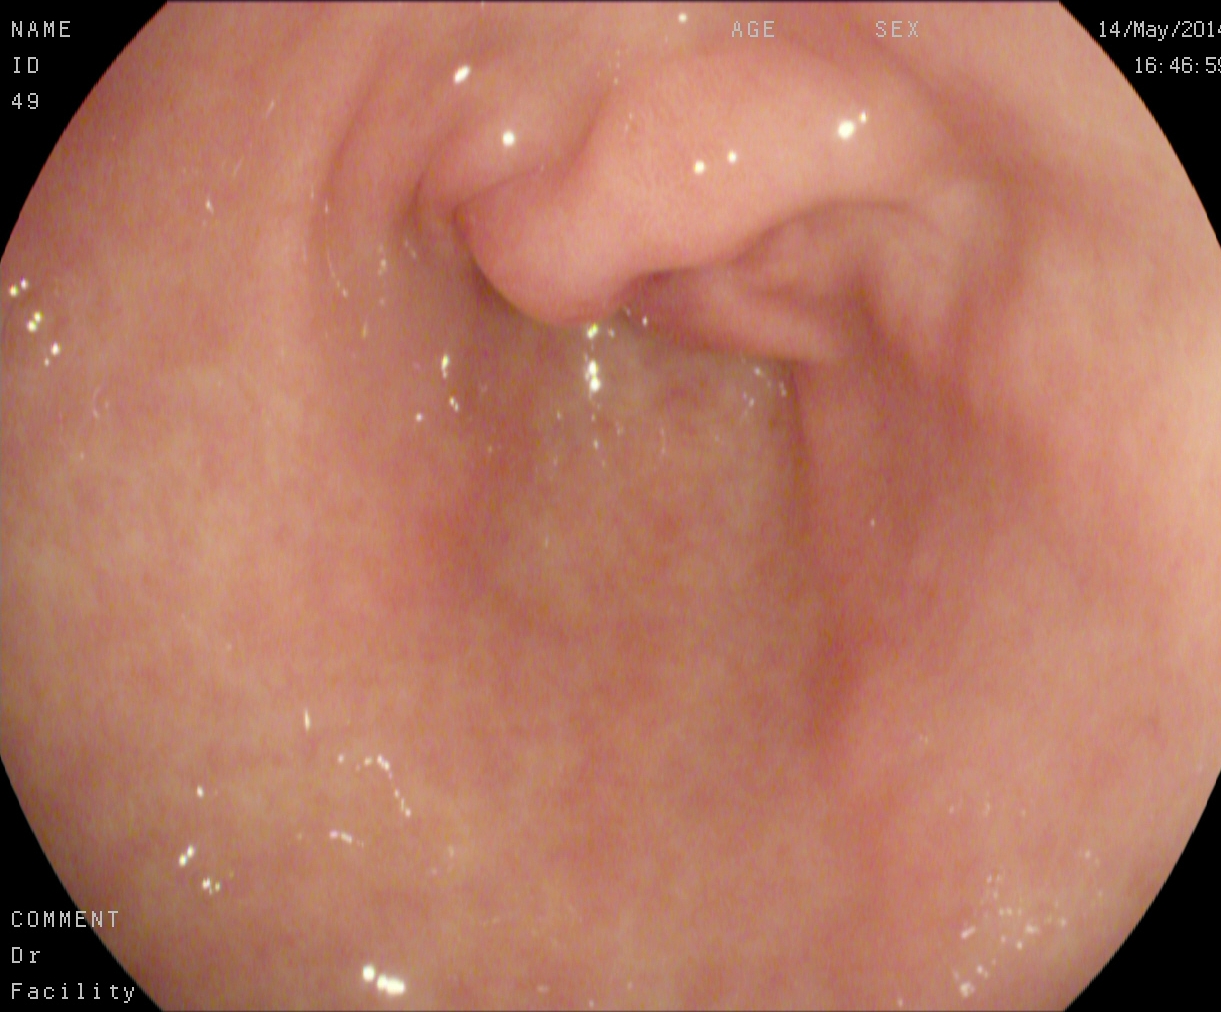This endoscopy frame of the upper GI tract shows pylorus.